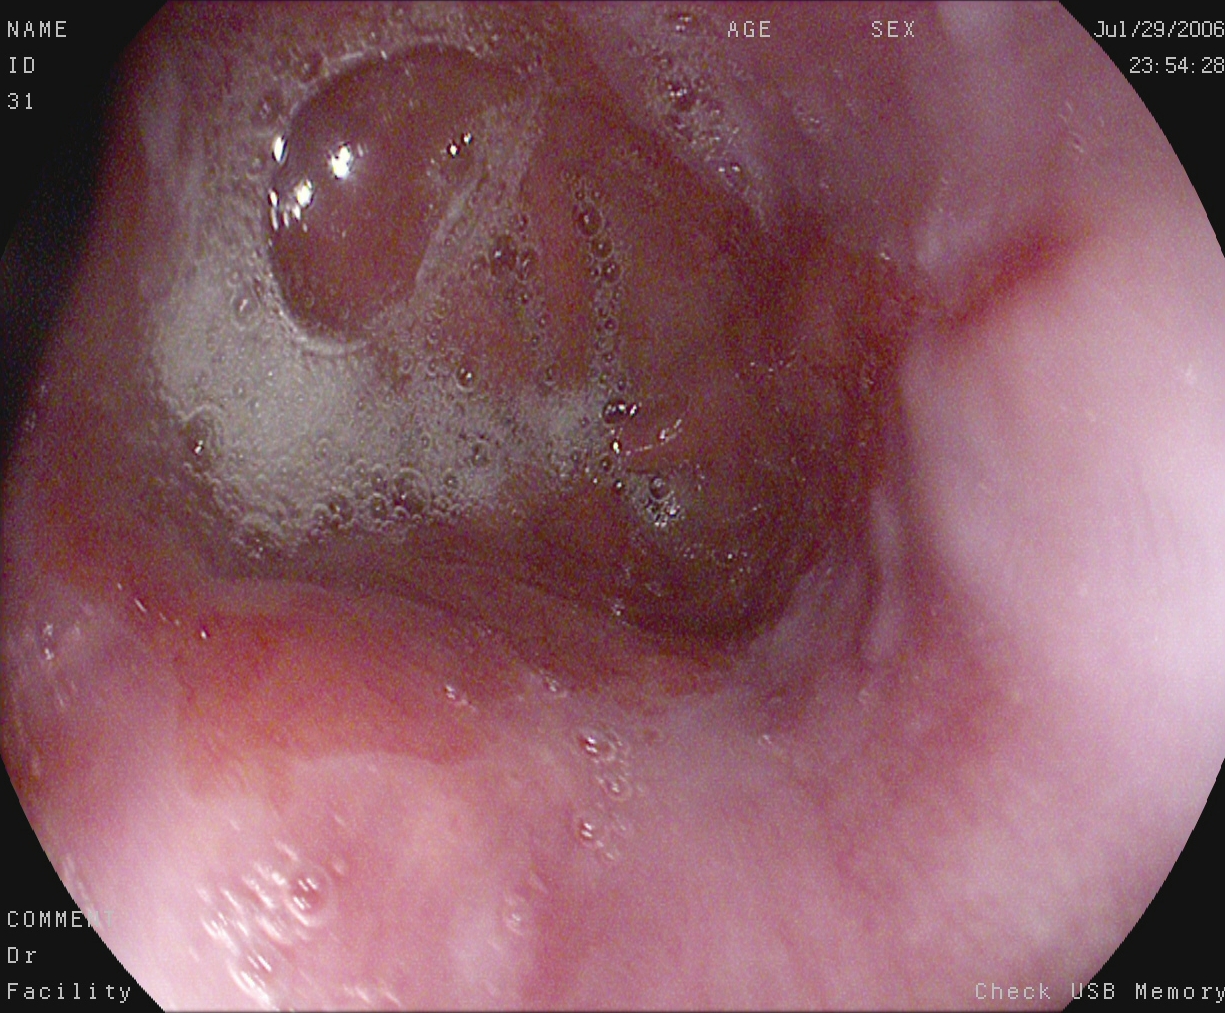EGD — reflux esophagitis, Los Angeles grade A.